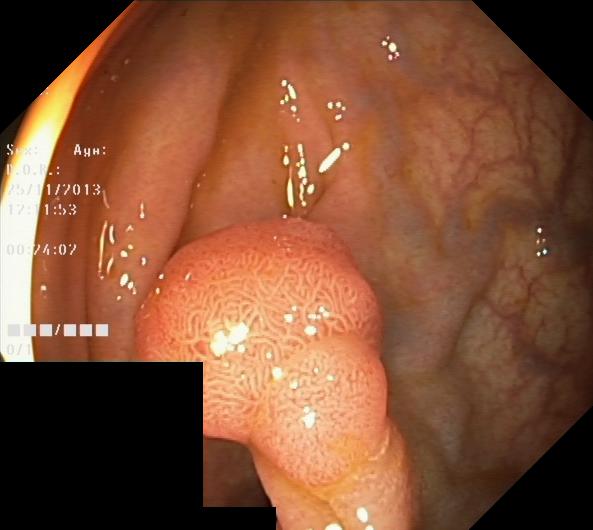Lower gastrointestinal endoscopy. Pathological finding. Finding: colorectal polyp(s).